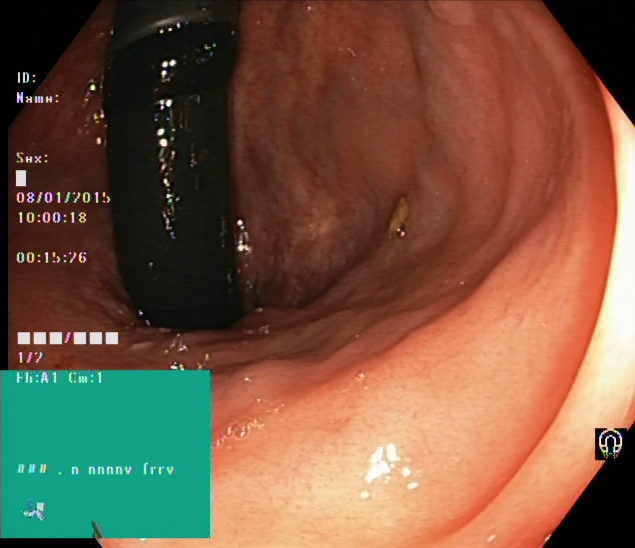{"modality": "colonoscopy", "category": "anatomical landmark", "finding": "rectum in retroflexion"}